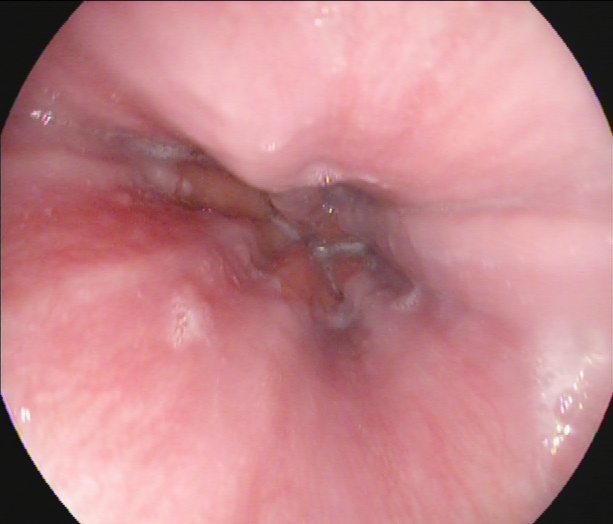Esophagogastroduodenoscopy — Z-line (gastroesophageal junction).